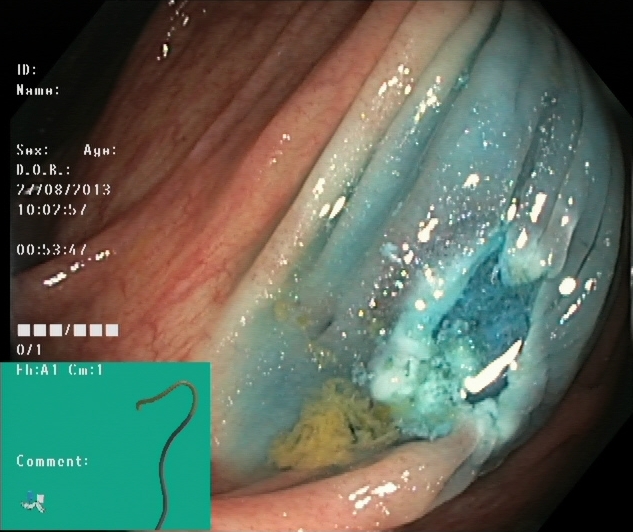Lower gastrointestinal endoscopy image showing dyed resection margins (post-polypectomy).